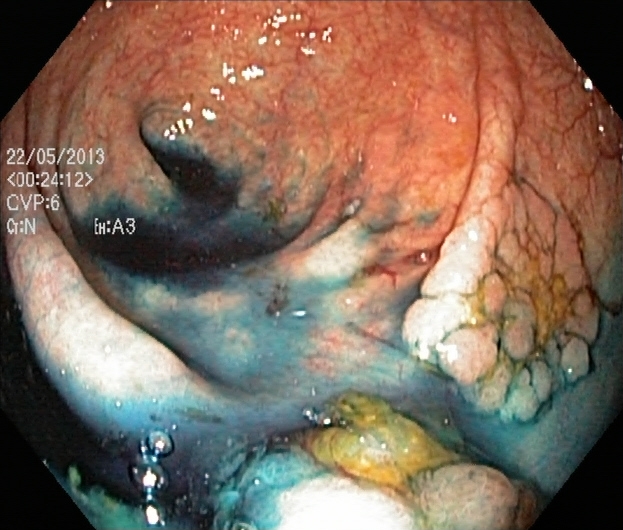Dyed and lifted polyp (pre-resection).